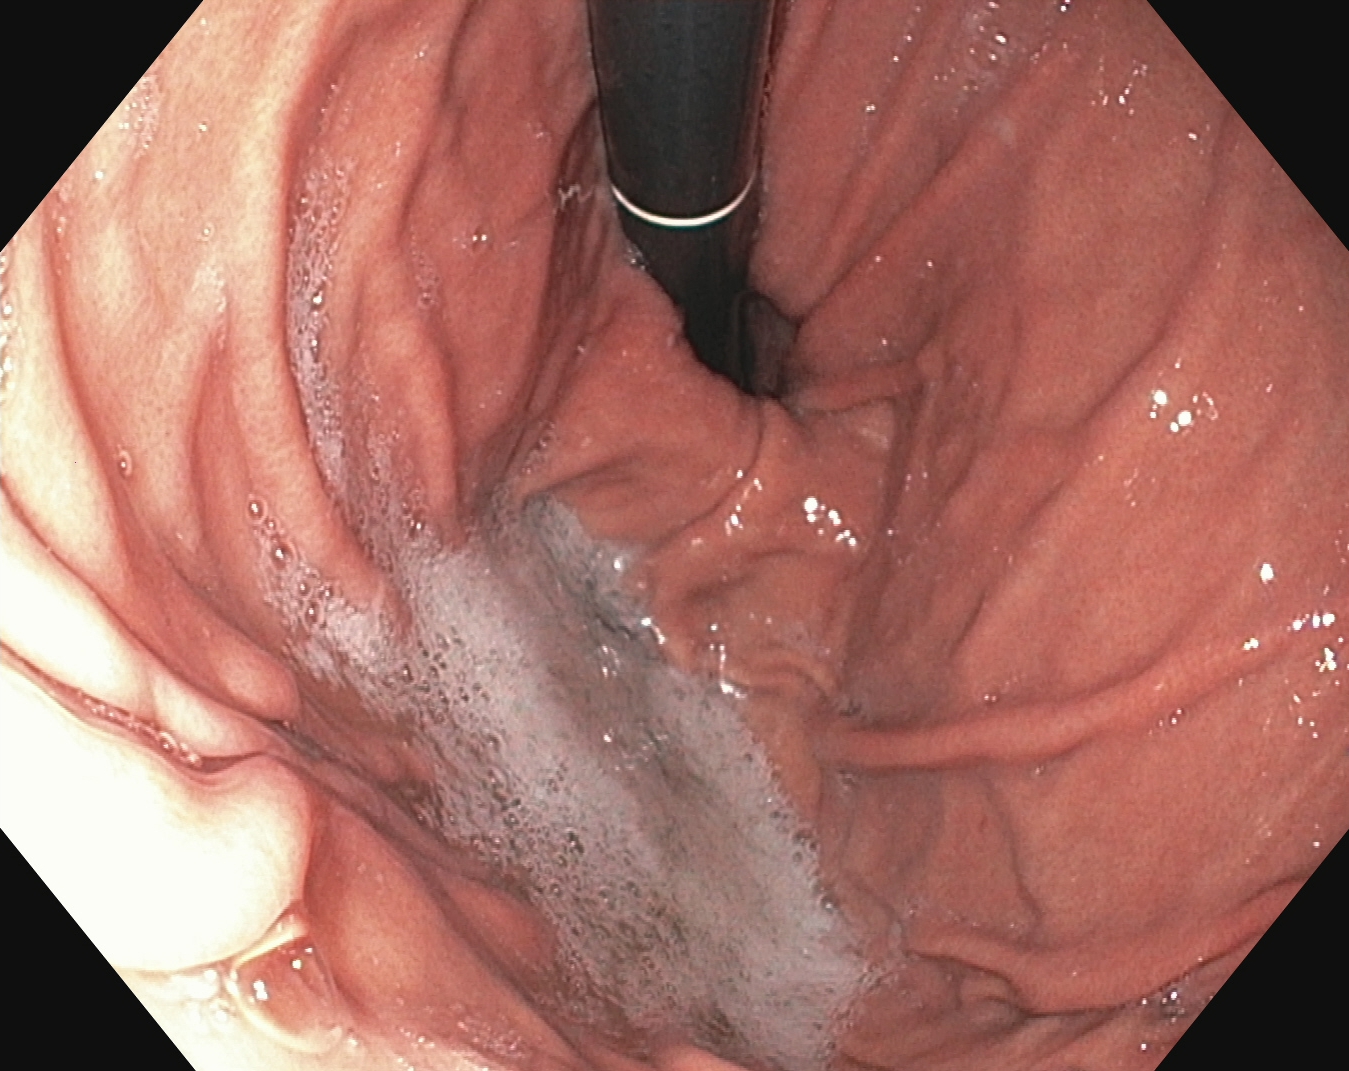stomach in retroflexion.